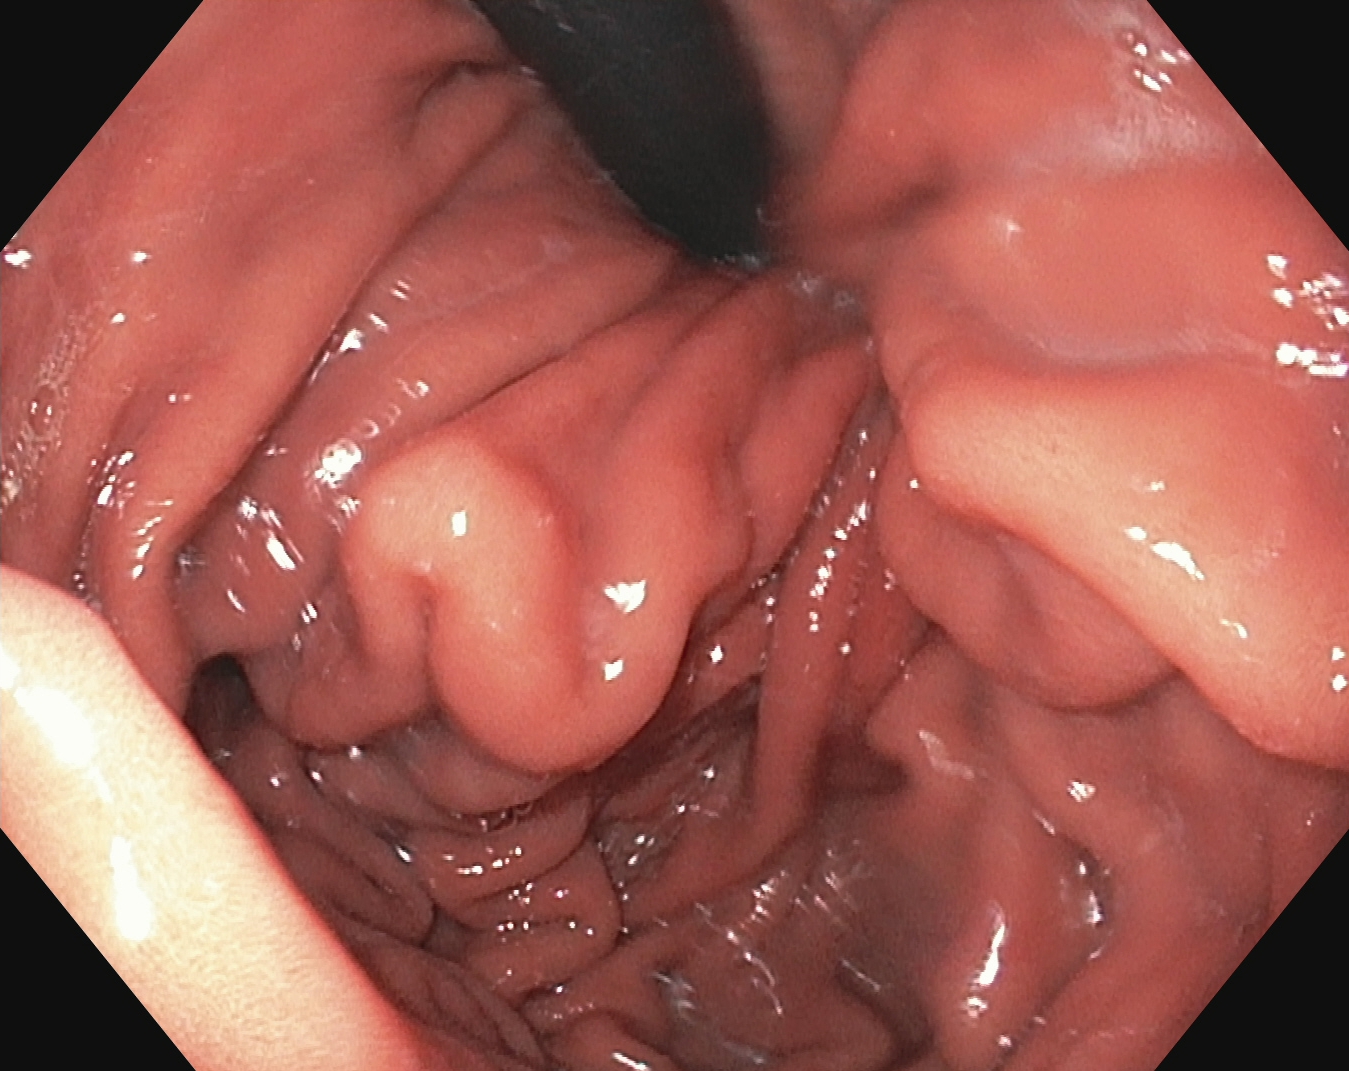Stomach in retroflexion.